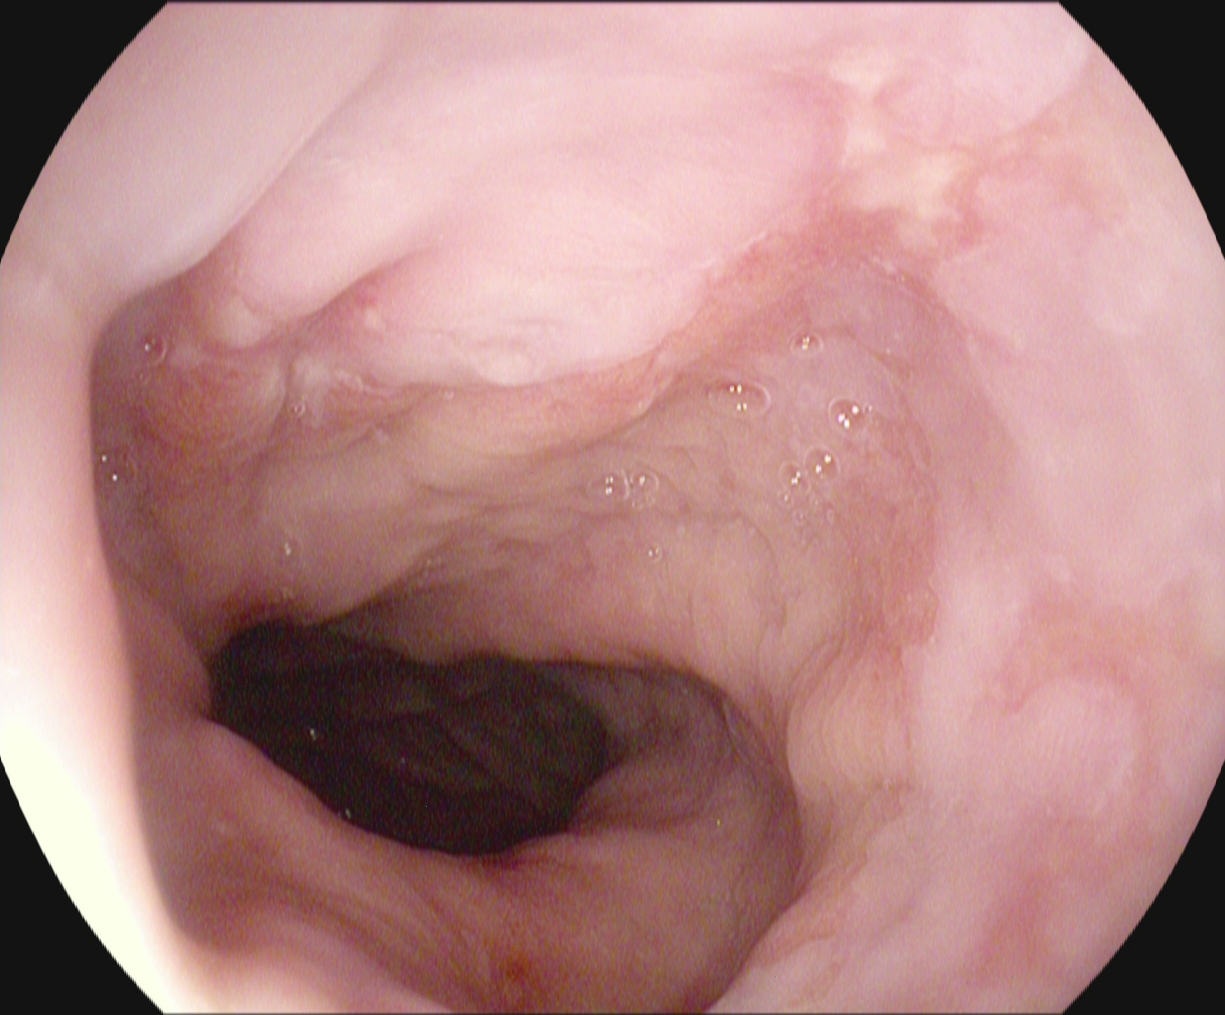This endoscopic image of the upper GI tract shows reflux esophagitis, LA grade A.